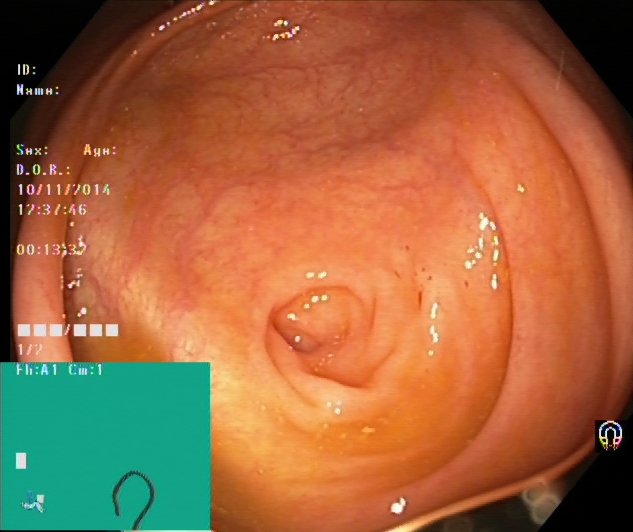modality: lower gastrointestinal endoscopy; tract: lower GI tract; finding: cecum